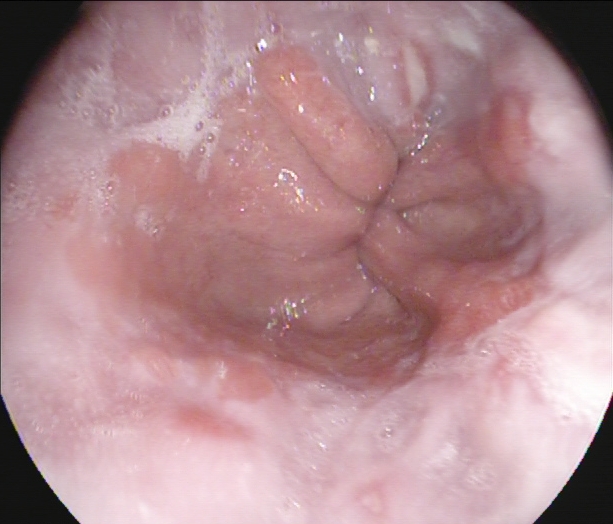{"modality": "upper-GI endoscopy", "tract": "upper GI tract", "finding": "reflux esophagitis, Los Angeles grade A"}